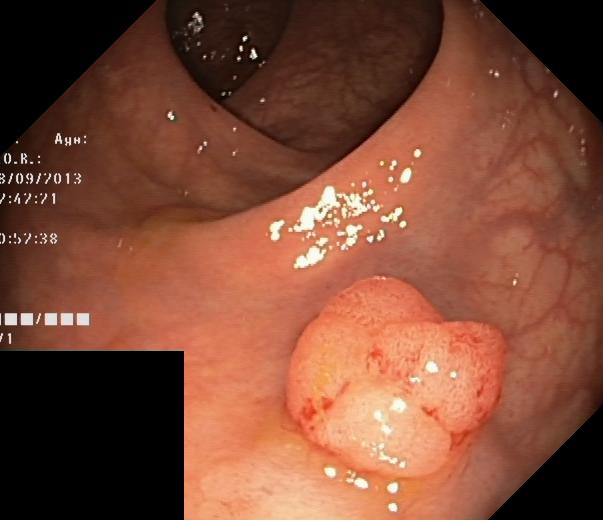Colorectal polyp(s).